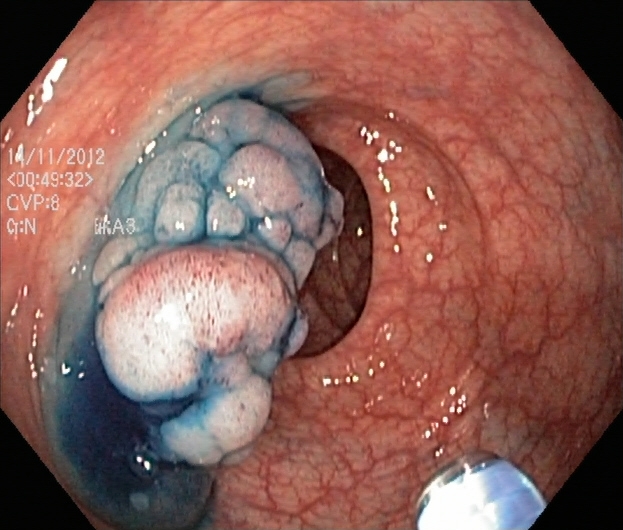Dyed and lifted polyp (pre-resection).